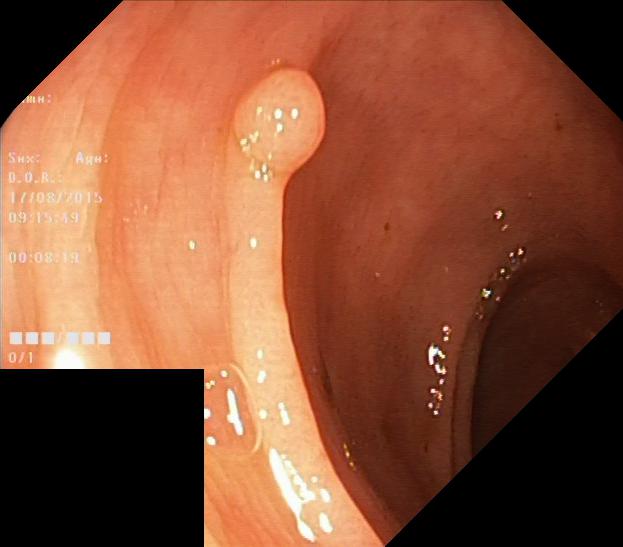PROCEDURE: Lower gastrointestinal endoscopy.
CATEGORY: Pathological finding.
FINDINGS: Colorectal polyp(s).